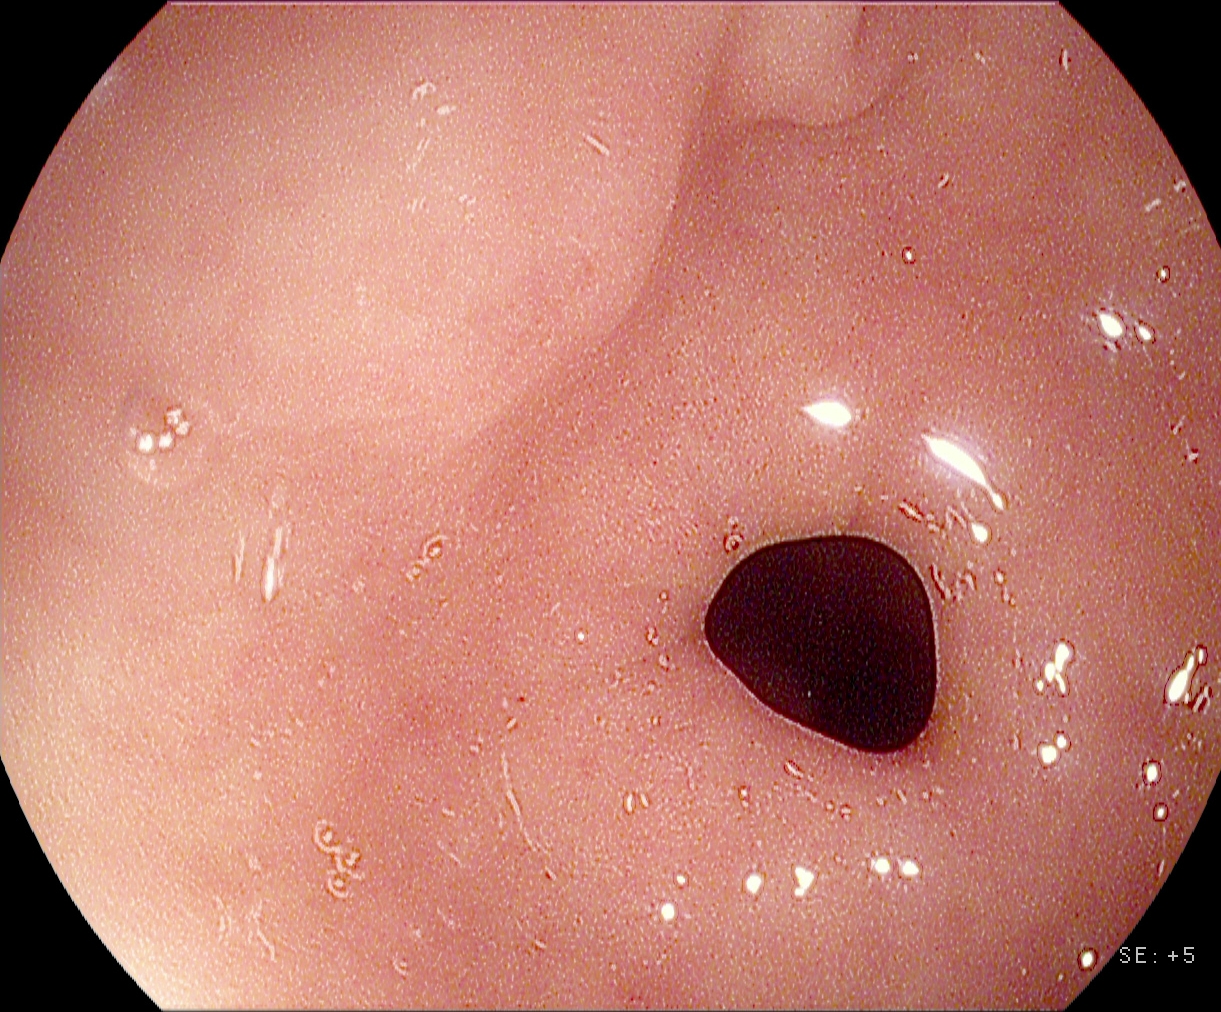Pylorus.